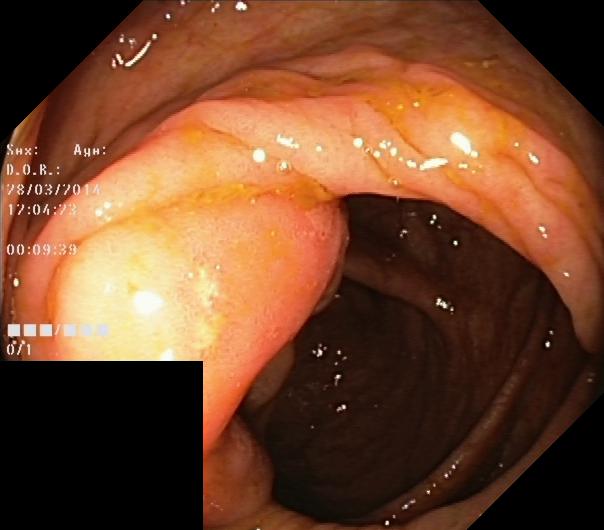Colonoscopy — colorectal polyp(s).